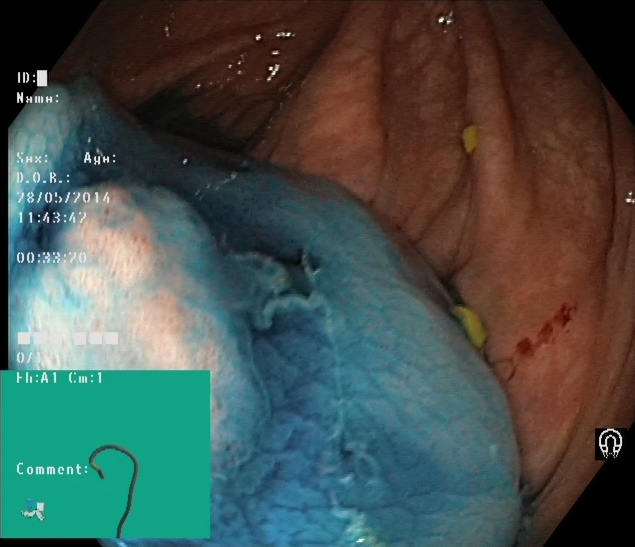PROCEDURE: Lower gastrointestinal endoscopy.
FINDINGS: Dyed and lifted polyp (pre-resection).